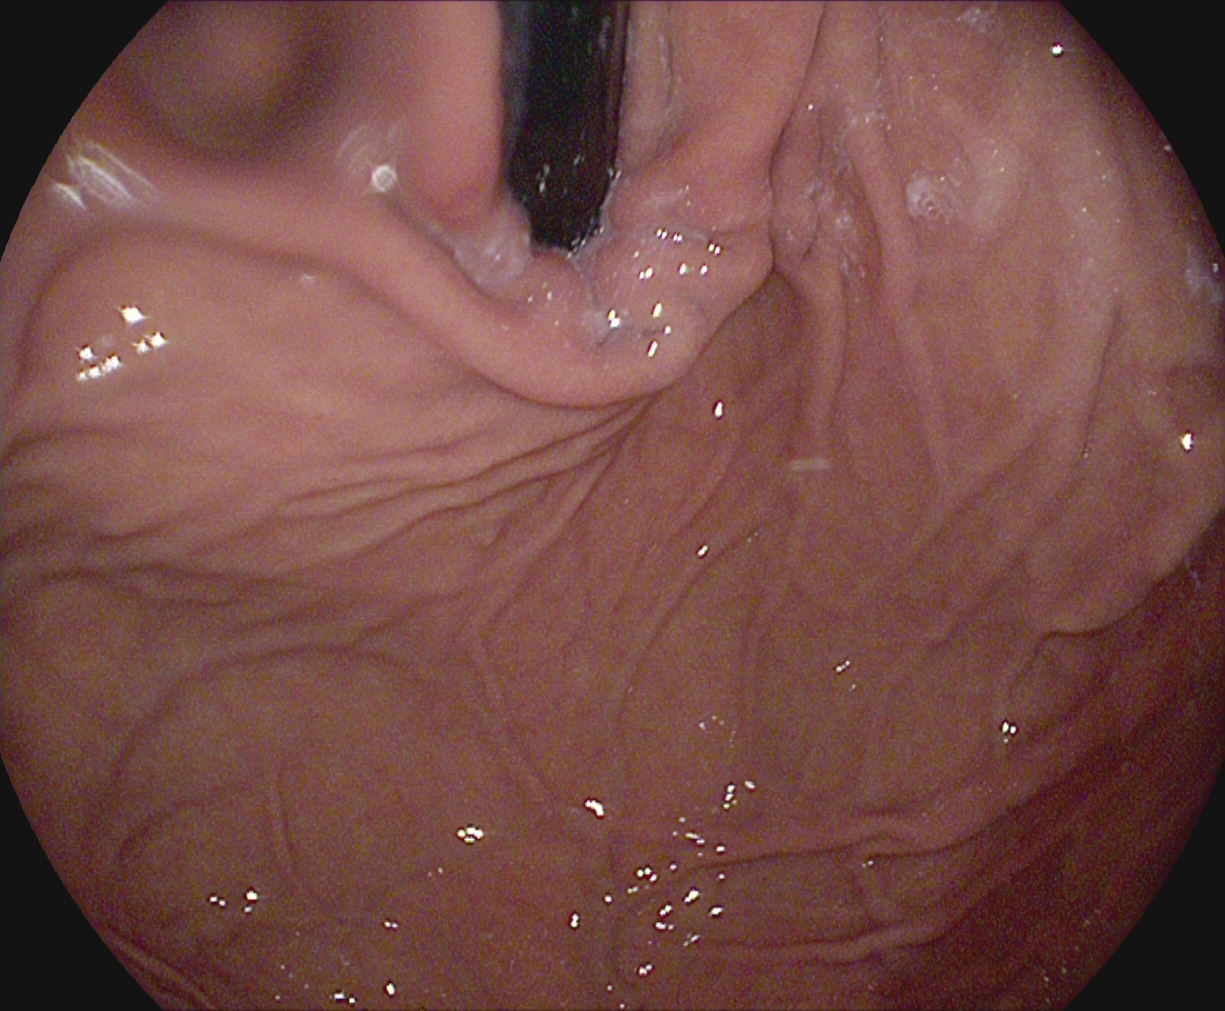Upper-GI endoscopy — stomach in retroflexion.